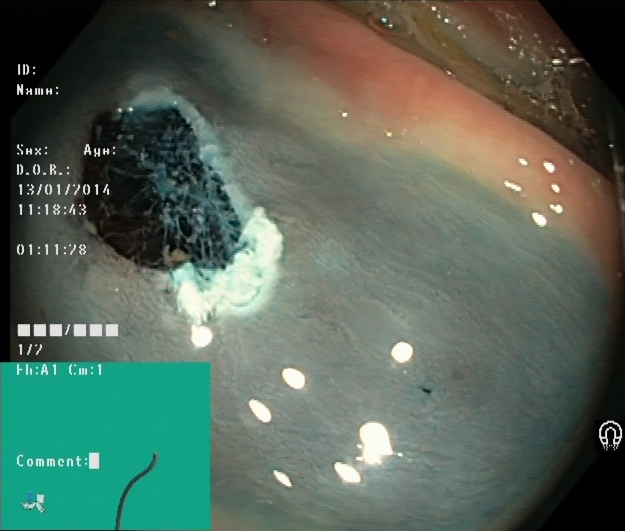Dyed resection margins (post-polypectomy).